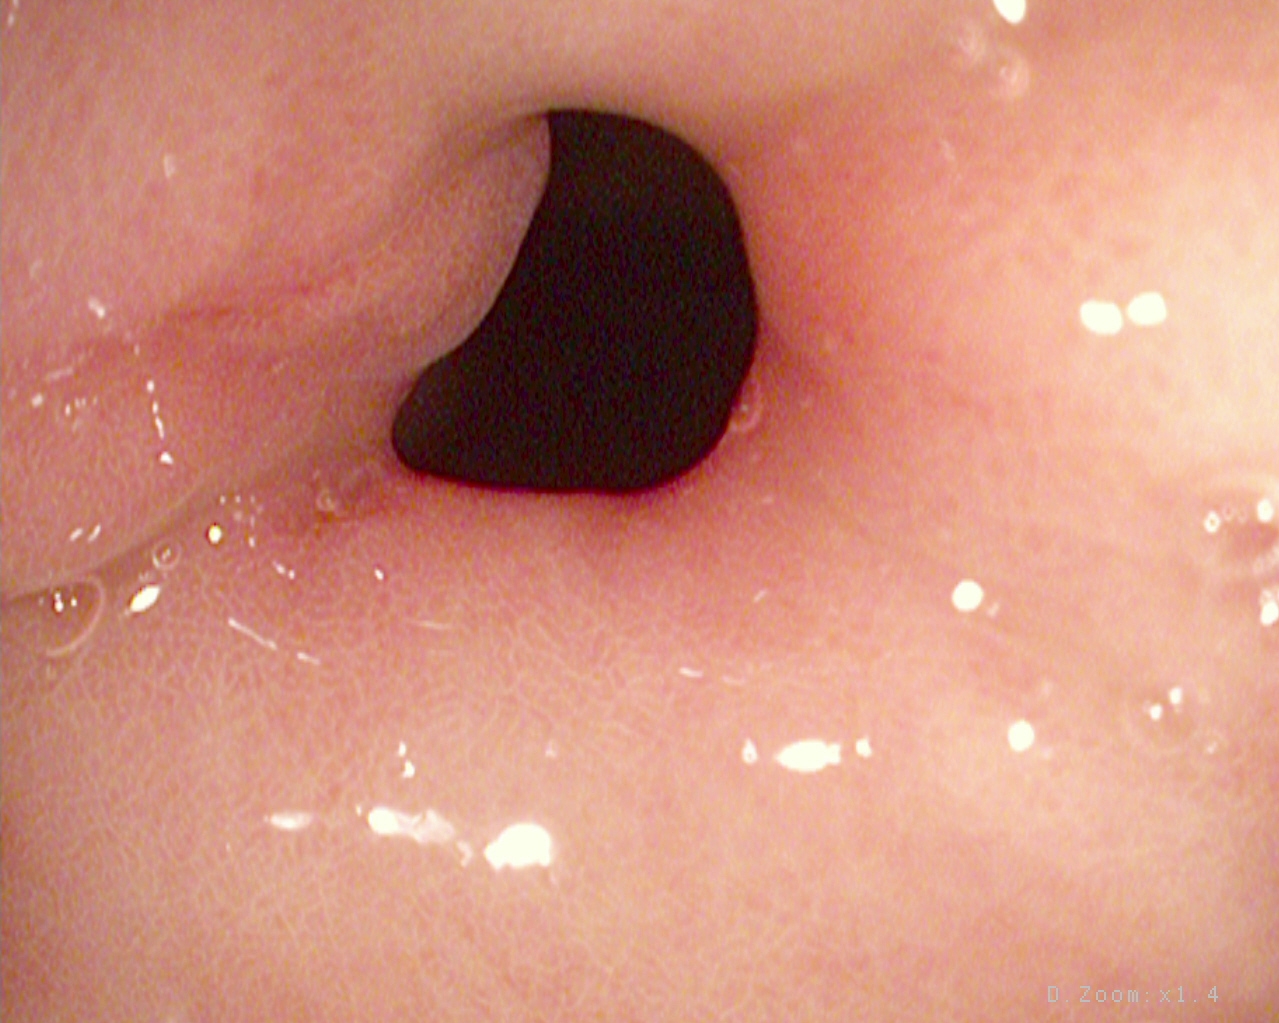GI endoscopy image of the upper GI tract showing pylorus.